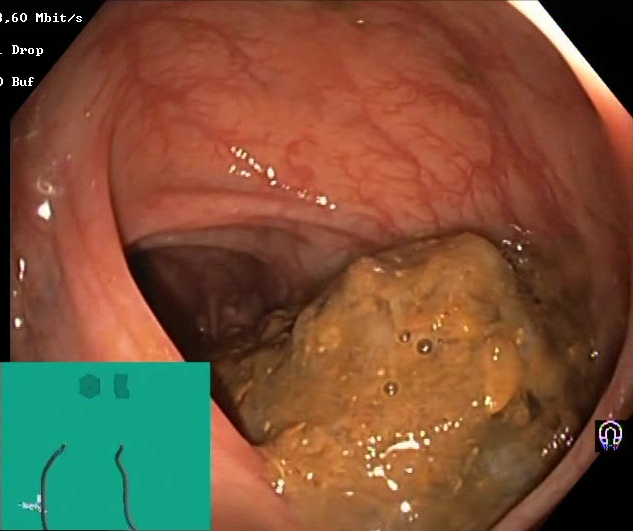{"modality": "lower gastrointestinal endoscopy", "tract": "lower GI tract", "finding": "BBPS score 0\u20131 (inadequate preparation)"}